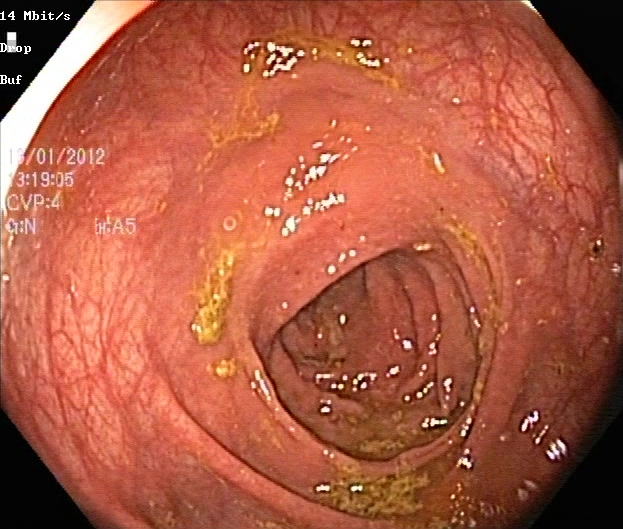Ulcerative colitis, Mayo endoscopic subscore 0–1.